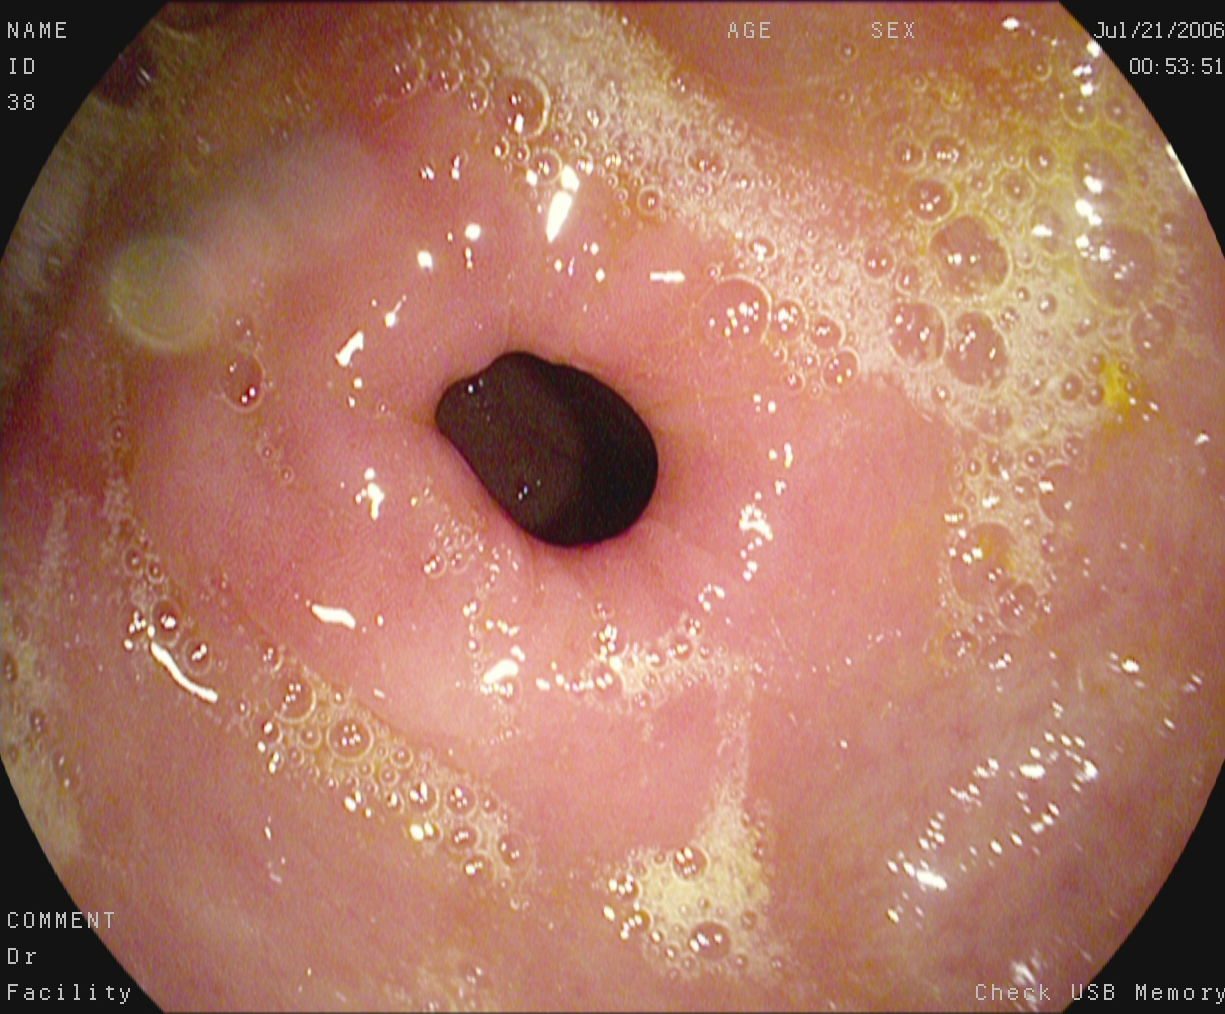Gastroscopy image showing pylorus.